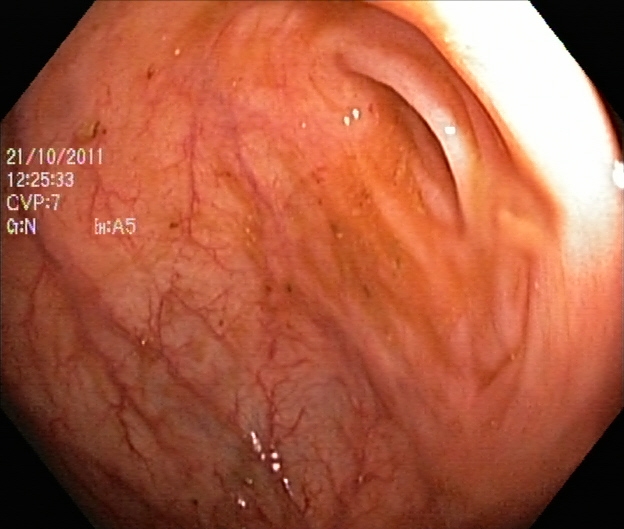Endoscopic image of the lower GI tract showing cecum.